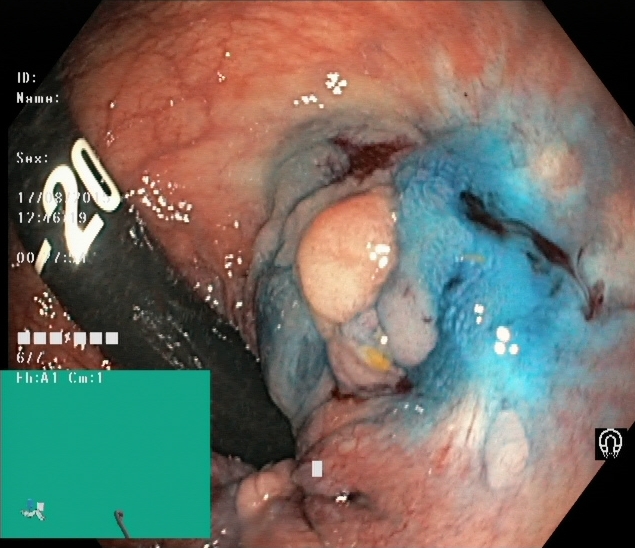This endoscopy frame shows dyed and lifted polyp (pre-resection).